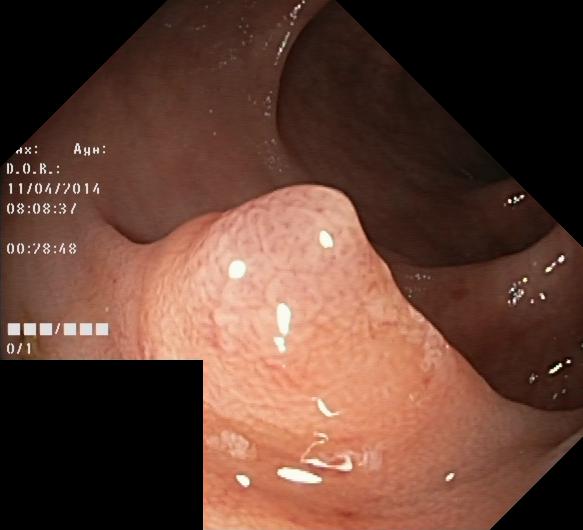This endoscopy frame shows colorectal polyp(s).